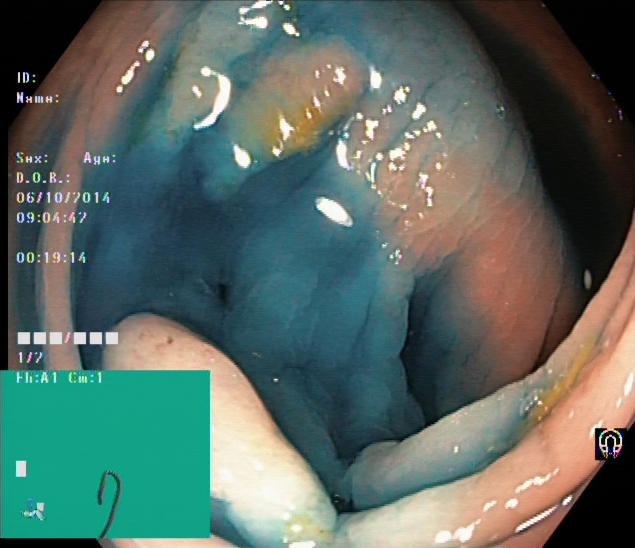This endoscopy frame of the lower GI tract shows dyed and lifted polyp (pre-resection).